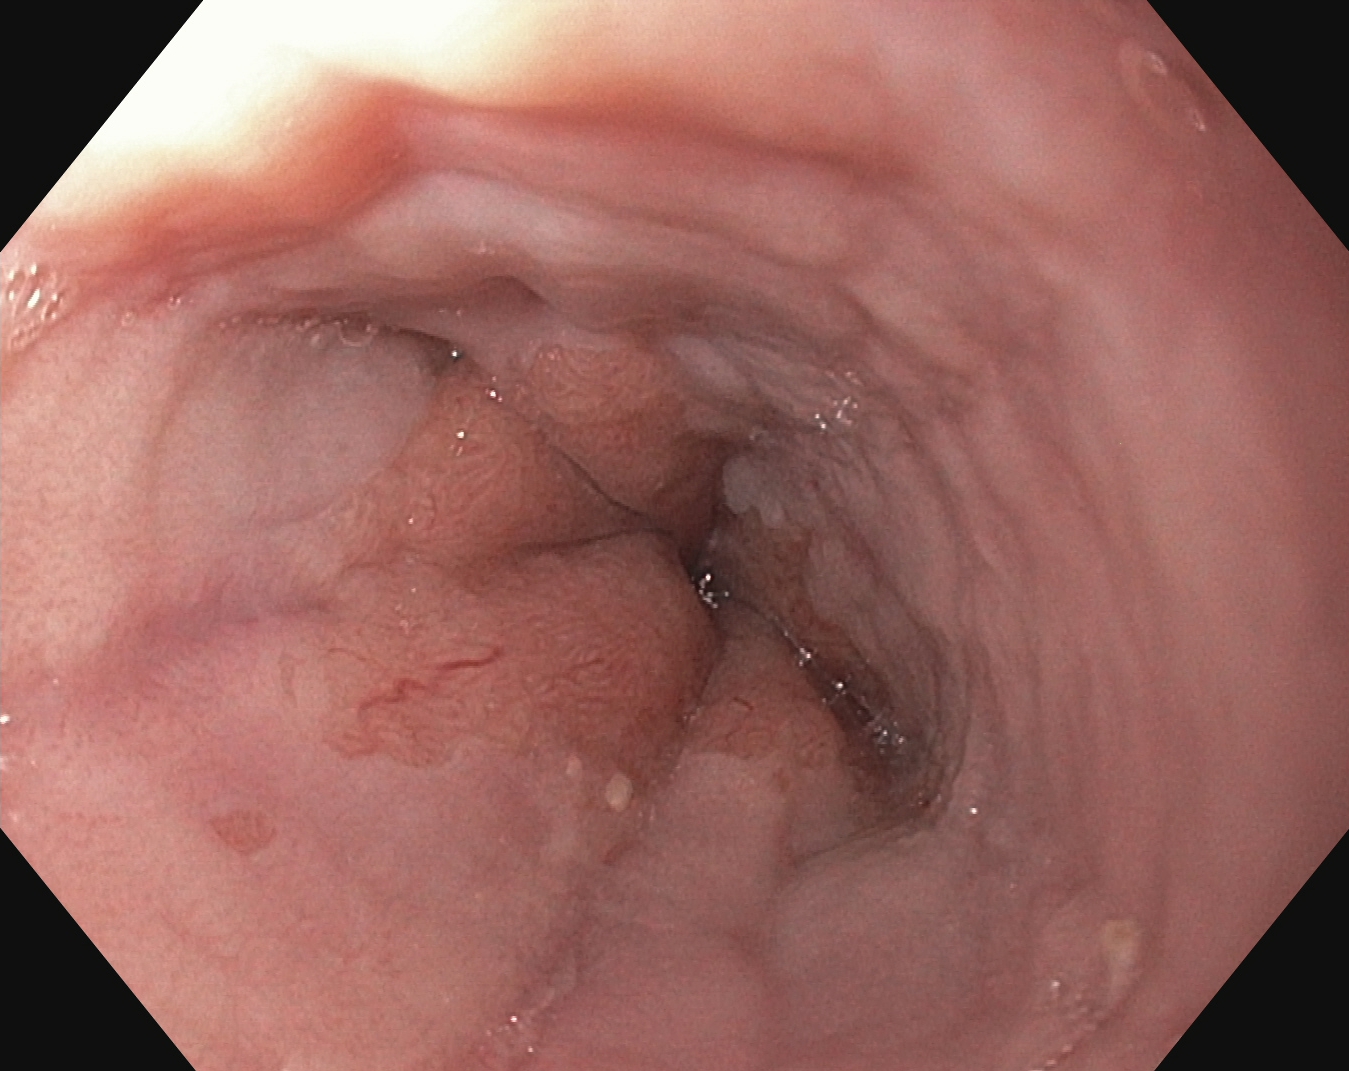This endoscopic image of the upper GI tract shows Z-line (gastroesophageal junction).